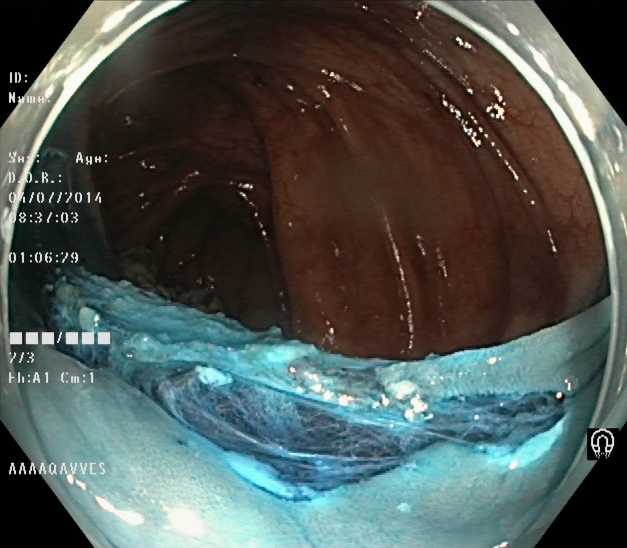Lower gastrointestinal endoscopy. Tract: lower GI tract. Finding: dyed resection margins (post-polypectomy).